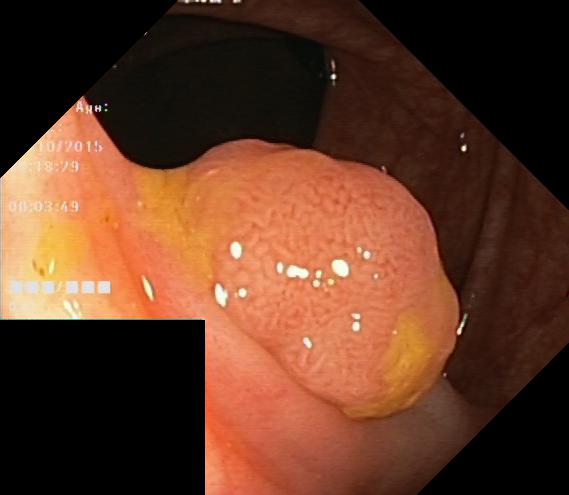GI endoscopy image showing colorectal polyp(s).